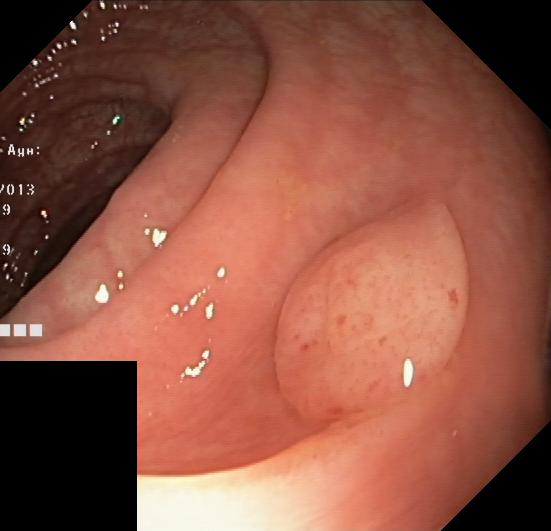Endoscopy image of the lower GI tract showing colorectal polyp(s).